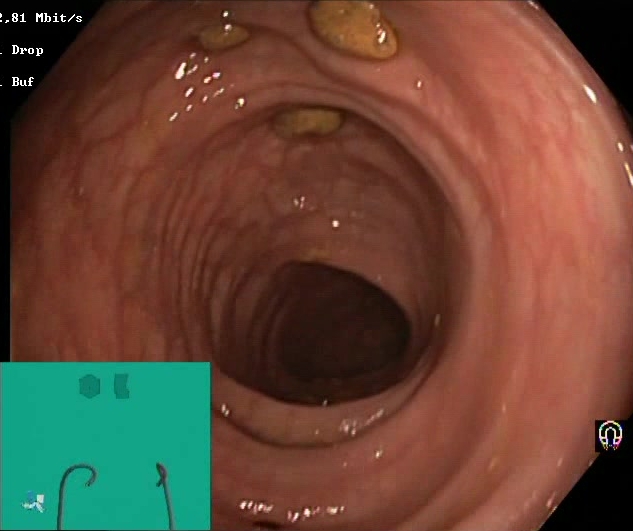Lower-GI endoscopy — impacted stool.